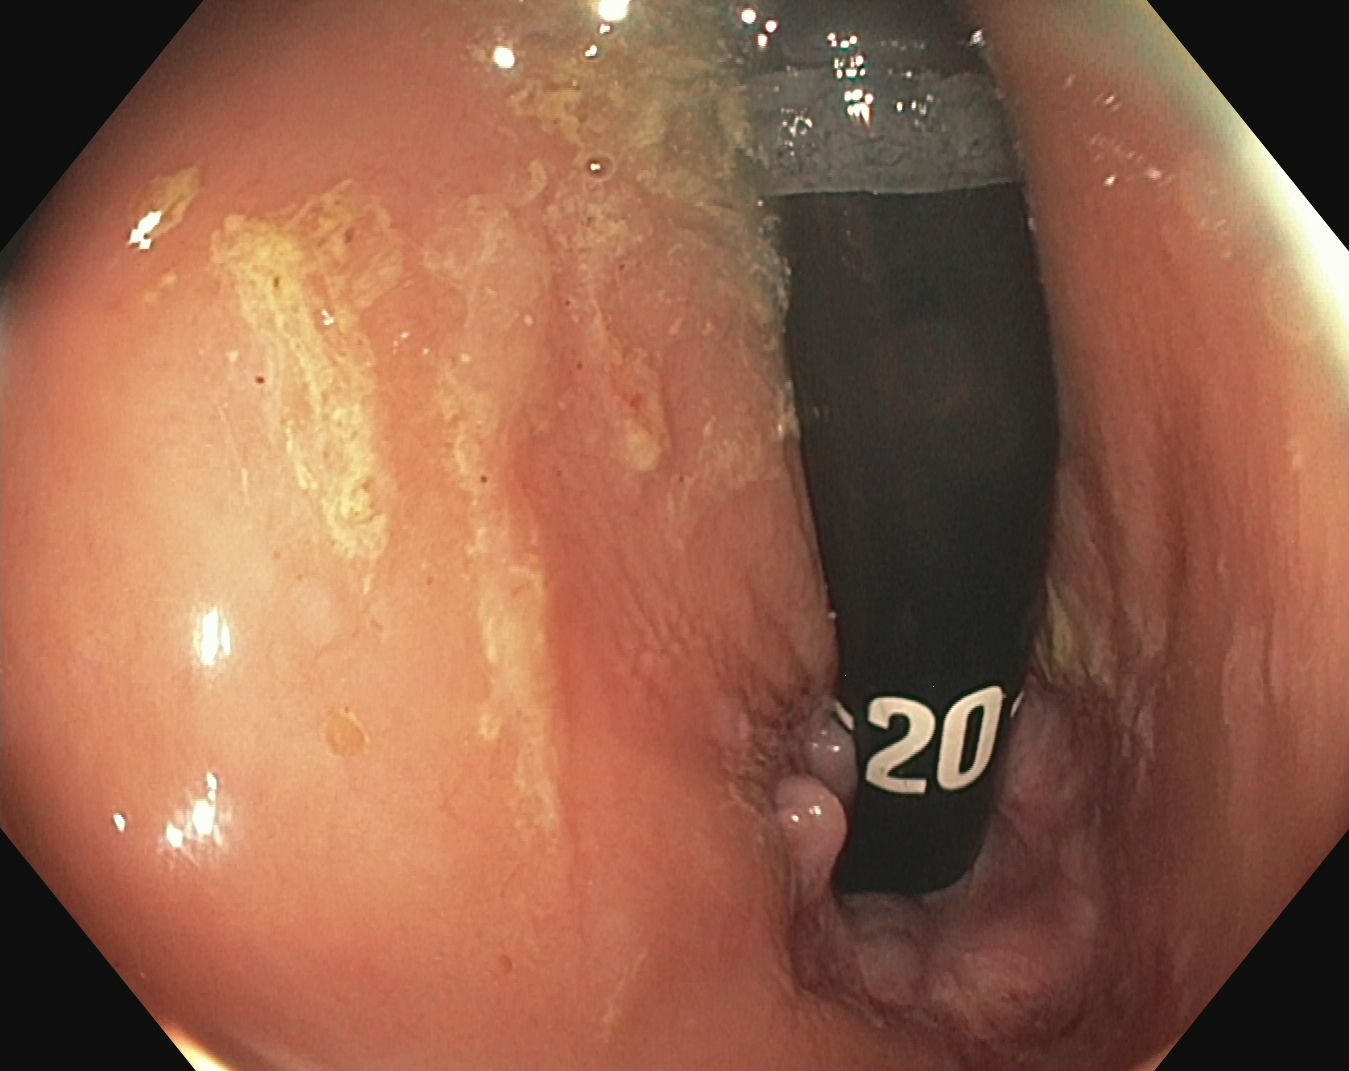This endoscopic image of the lower GI tract shows rectum in retroflexion.